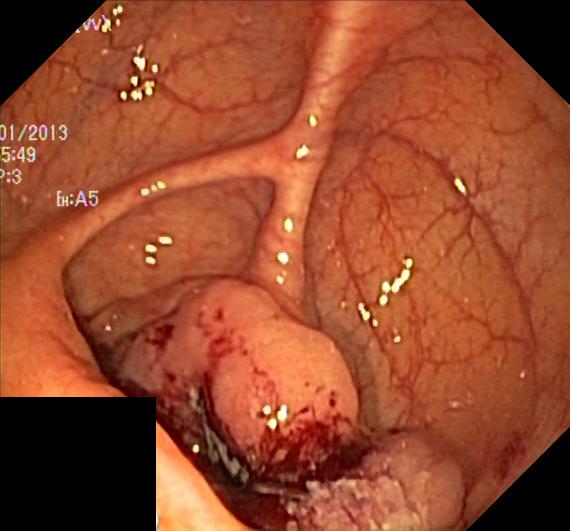{"modality": "lower gastrointestinal endoscopy", "finding": "colorectal polyp(s)"}